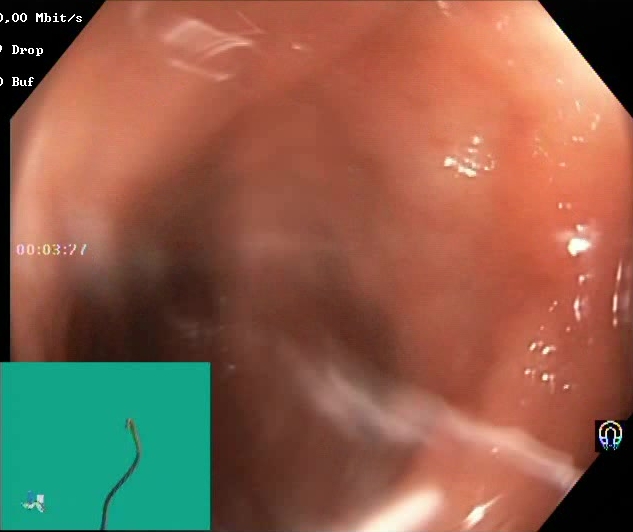{"modality": "lower gastrointestinal endoscopy", "category": "mucosal-view quality", "finding": "Boston Bowel Preparation Scale score 2\u20133 (adequate preparation)"}